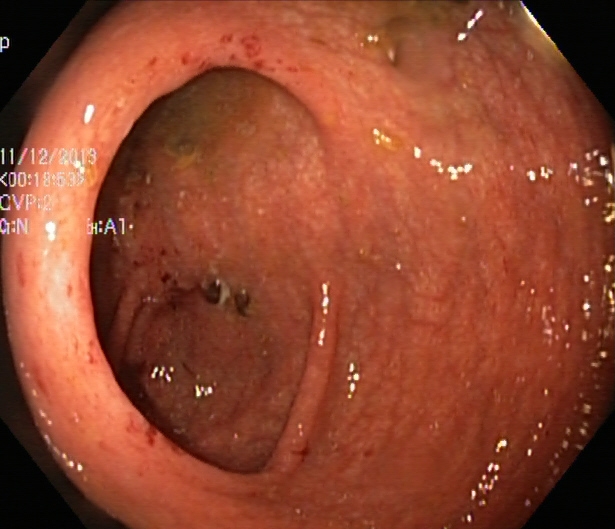Ulcerative colitis, Mayo endoscopic subscore 1.